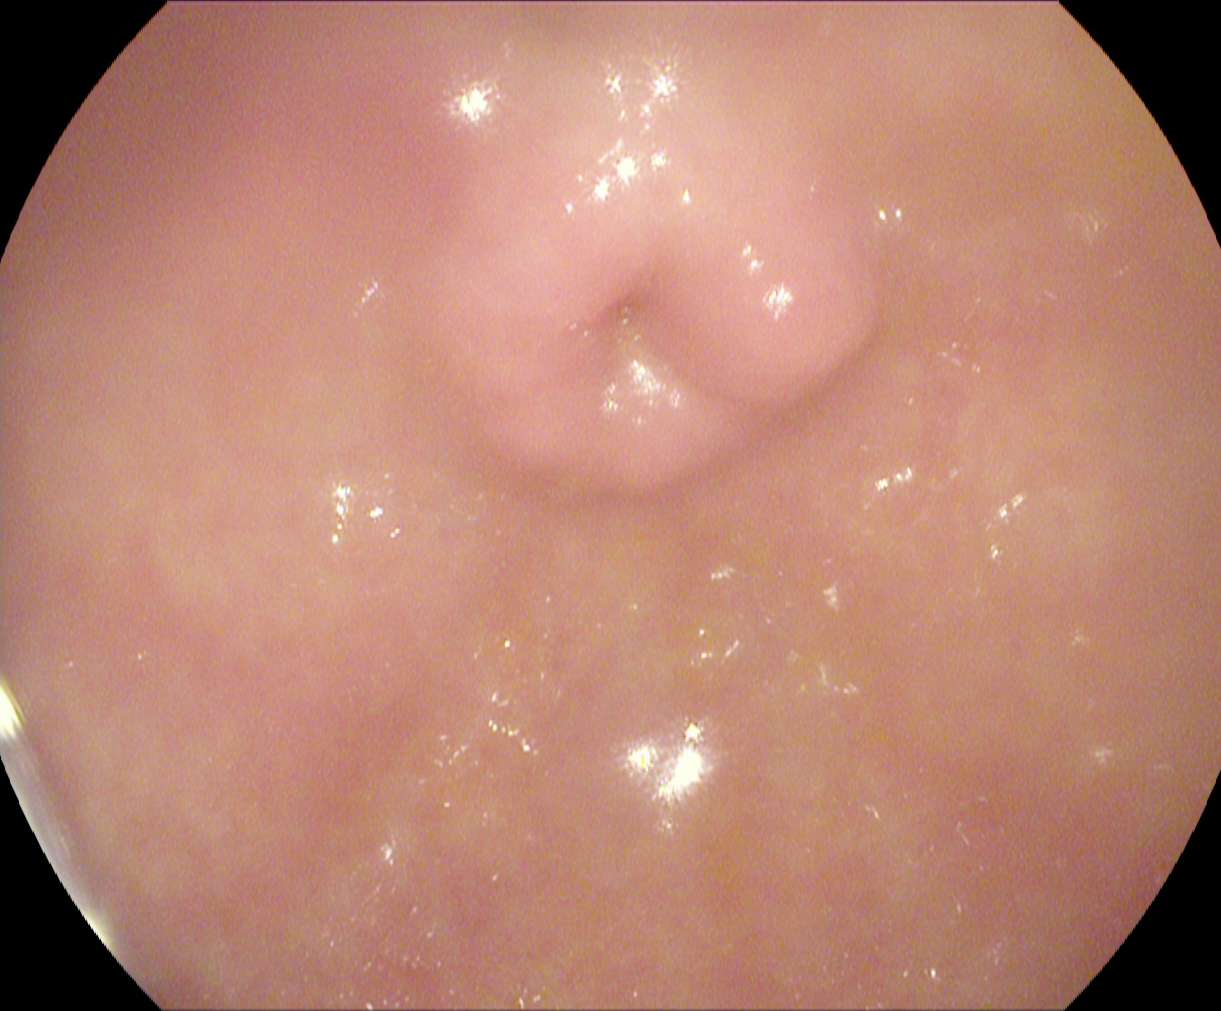Pylorus.